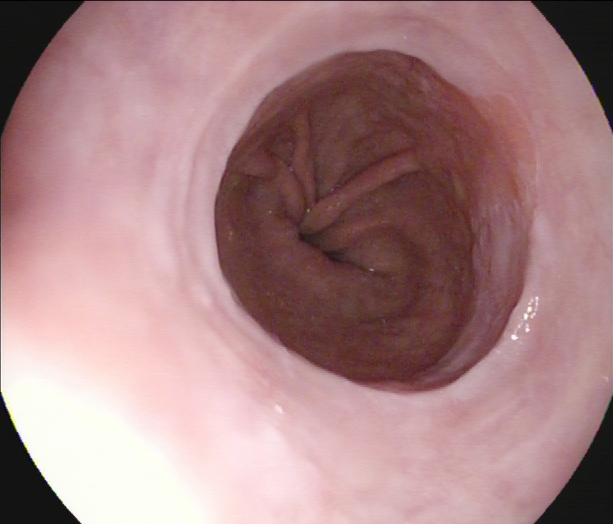EGD. Finding: Barrett's esophagus.